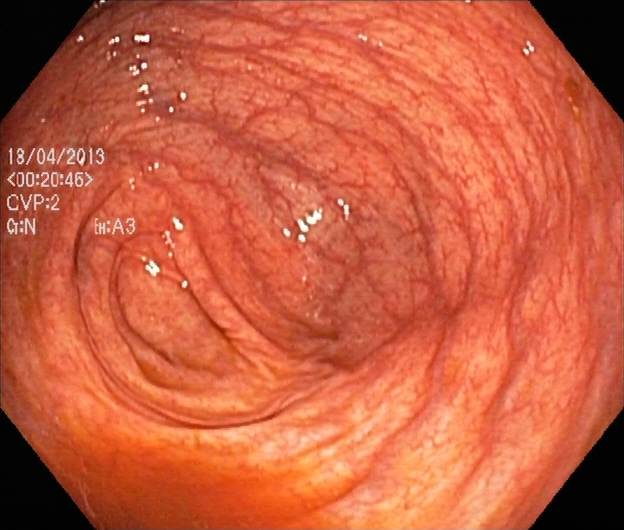Lower gastrointestinal endoscopy. Tract: lower GI tract. Anatomical landmark. Finding: cecum.